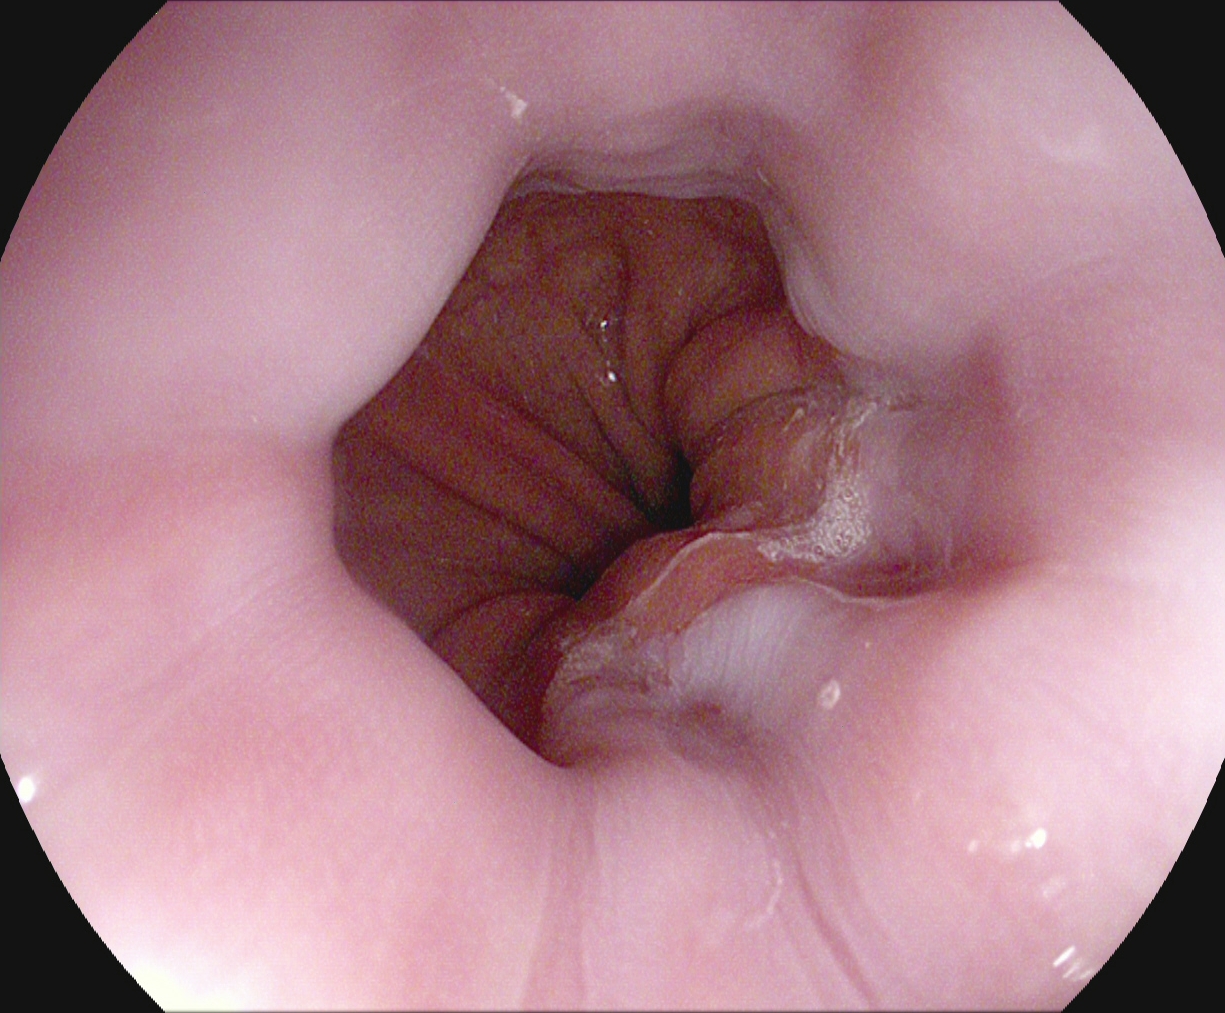{"modality": "gastroscopy", "tract": "upper GI tract", "category": "anatomical landmark", "finding": "Z-line (gastroesophageal junction)"}